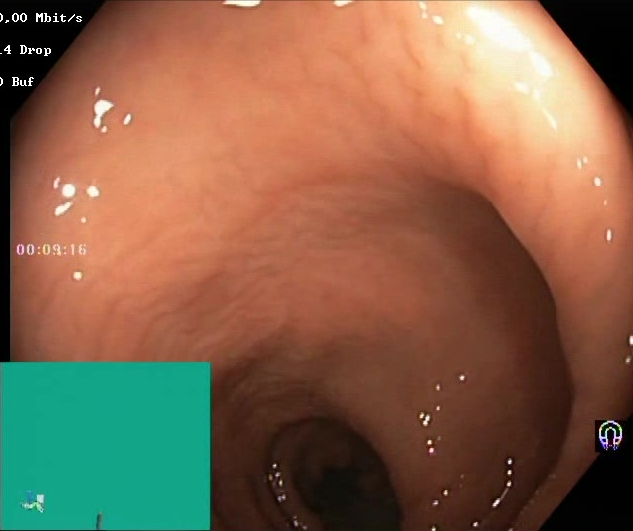This endoscopic image shows Boston Bowel Preparation Scale score 2–3 (adequate preparation).